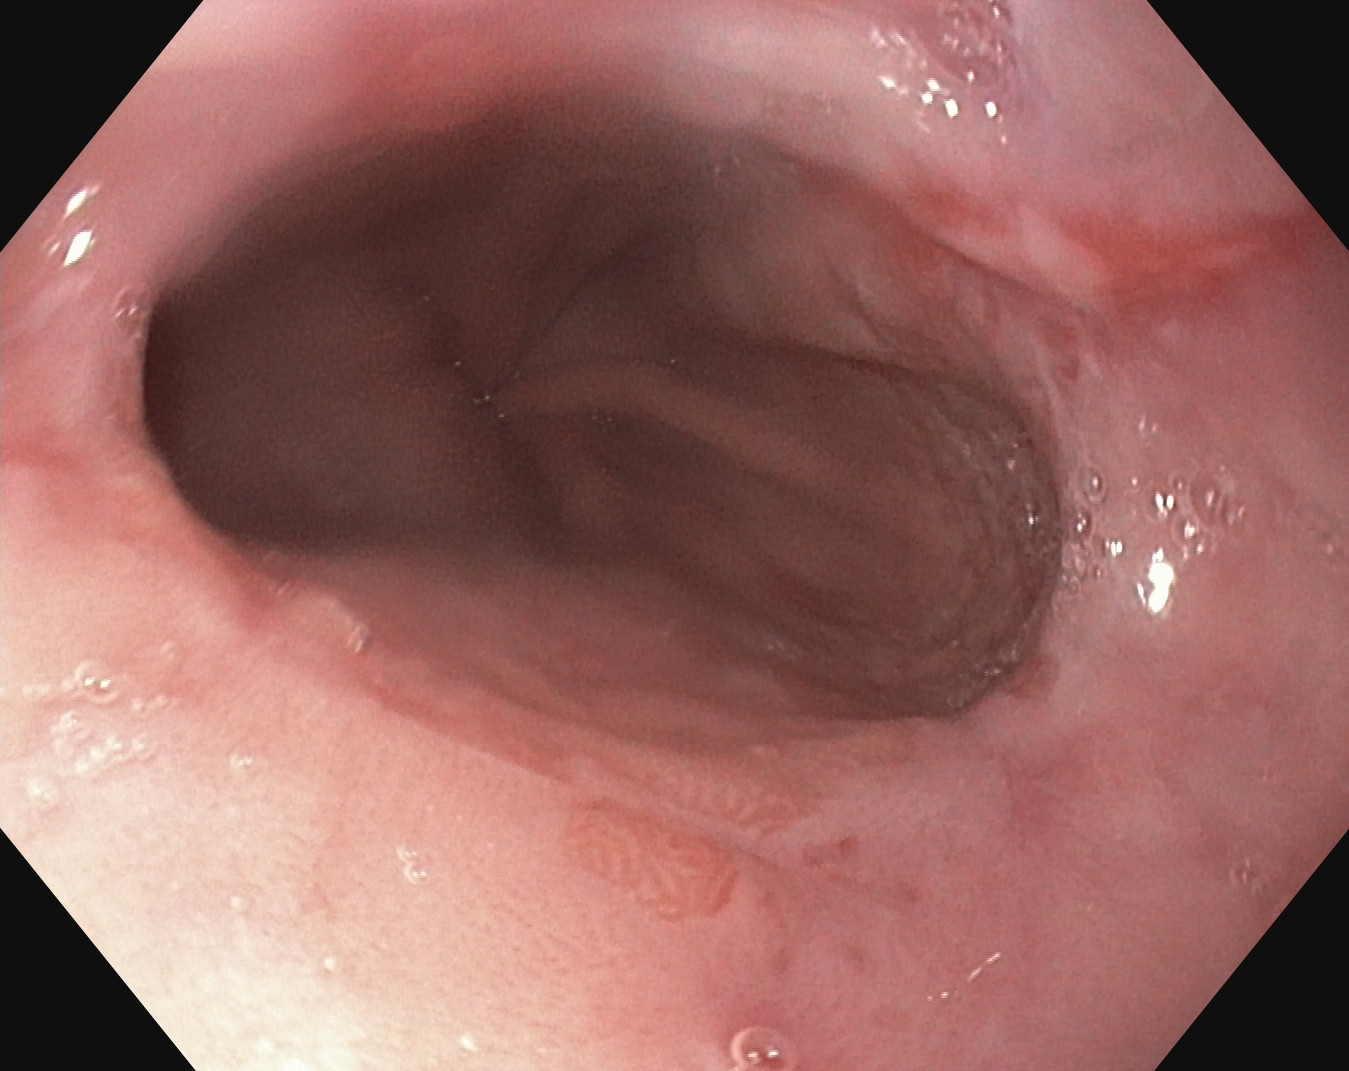EGD image showing reflux esophagitis, LA grade B–D.